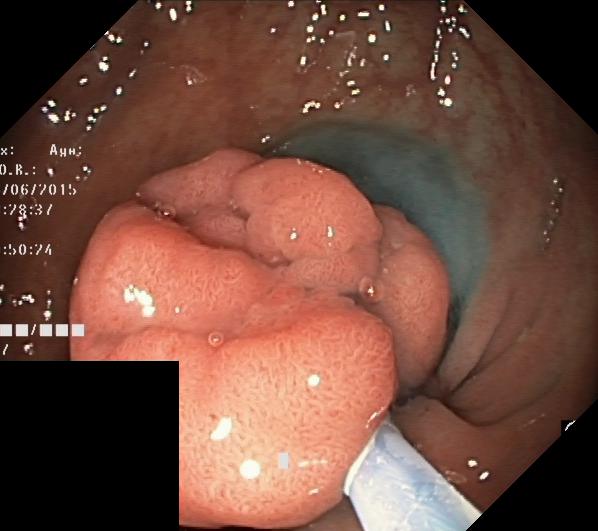Colonoscopy. Finding: colorectal polyp(s).